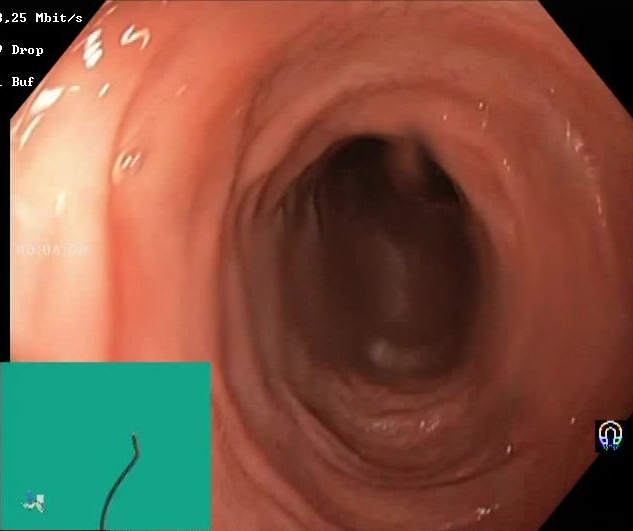This endoscopic image shows Boston Bowel Preparation Scale score 2–3 (adequate preparation).